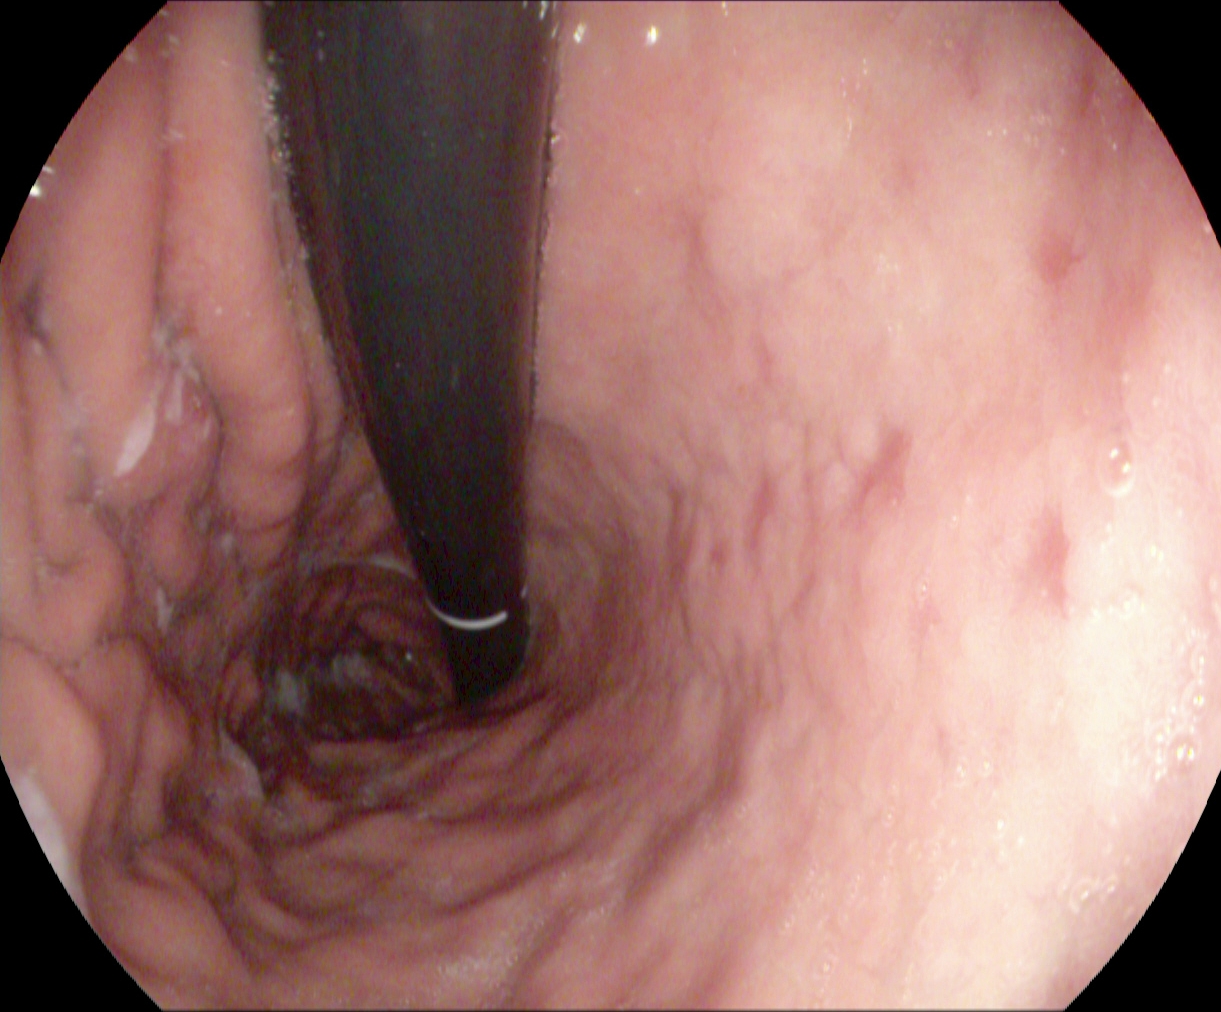Stomach in retroflexion.